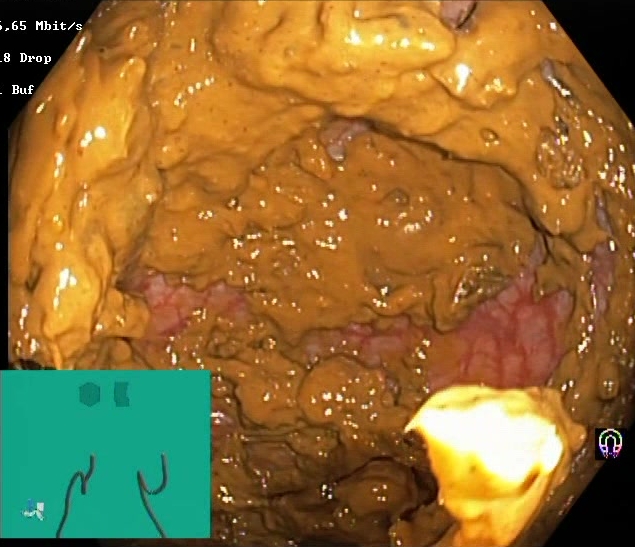Colonoscopy — Boston Bowel Preparation Scale score 0–1 (inadequate preparation).